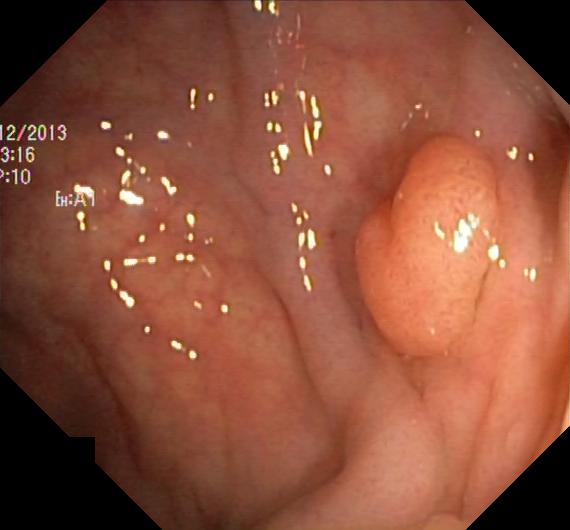Colonoscopy — colorectal polyp(s).